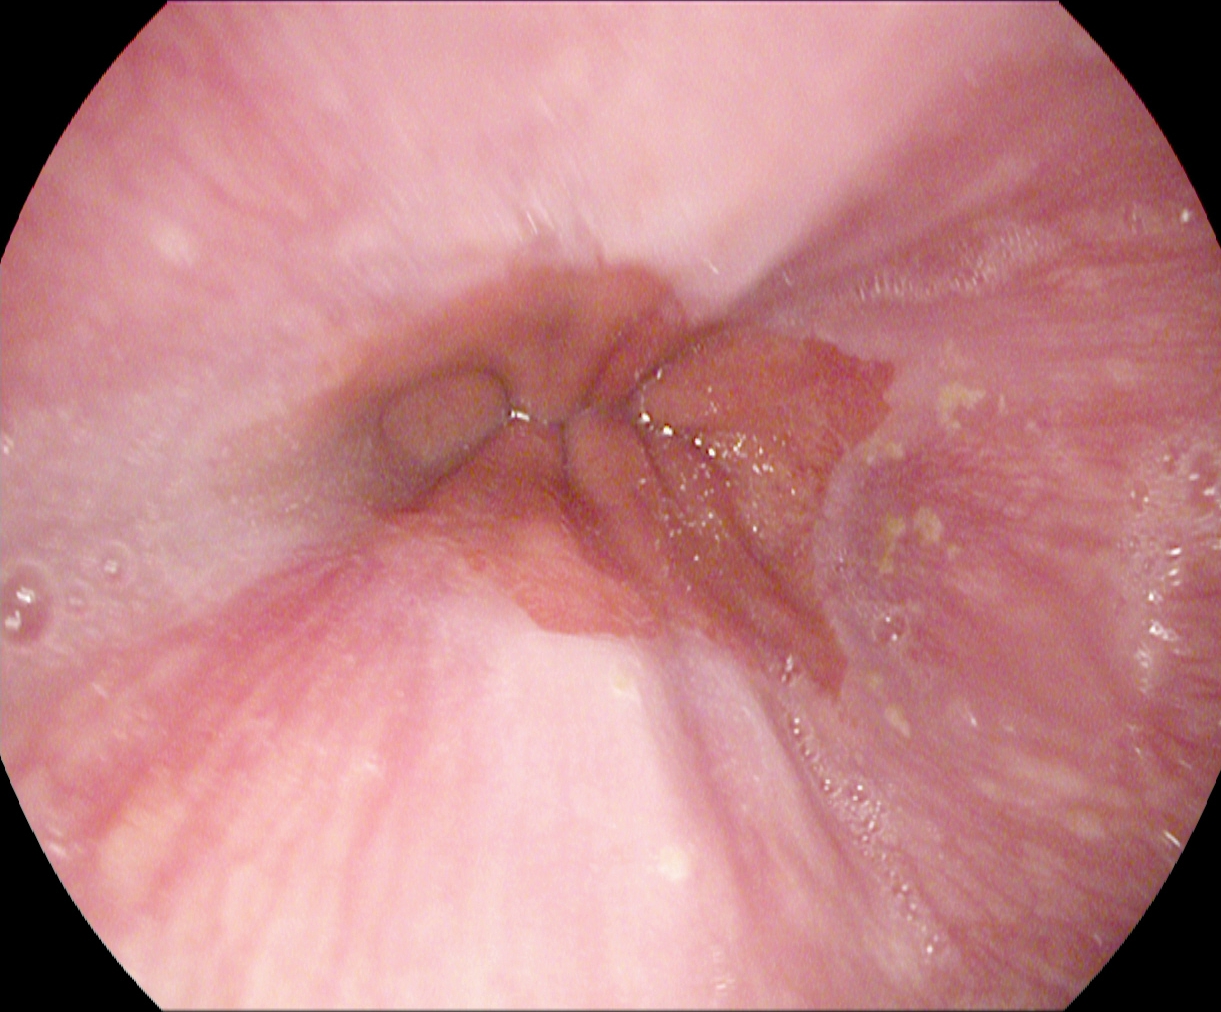modality: upper-GI endoscopy | tract: upper GI tract | finding: Z-line (gastroesophageal junction)